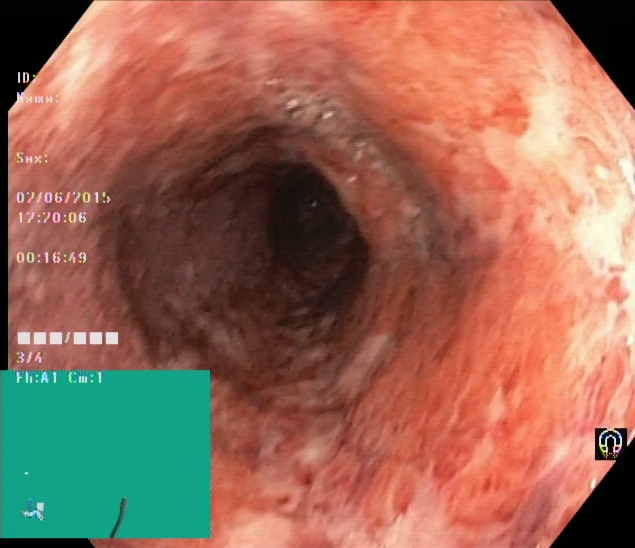modality: colonoscopy; tract: lower GI tract; finding: ulcerative colitis, Mayo endoscopic subscore 3